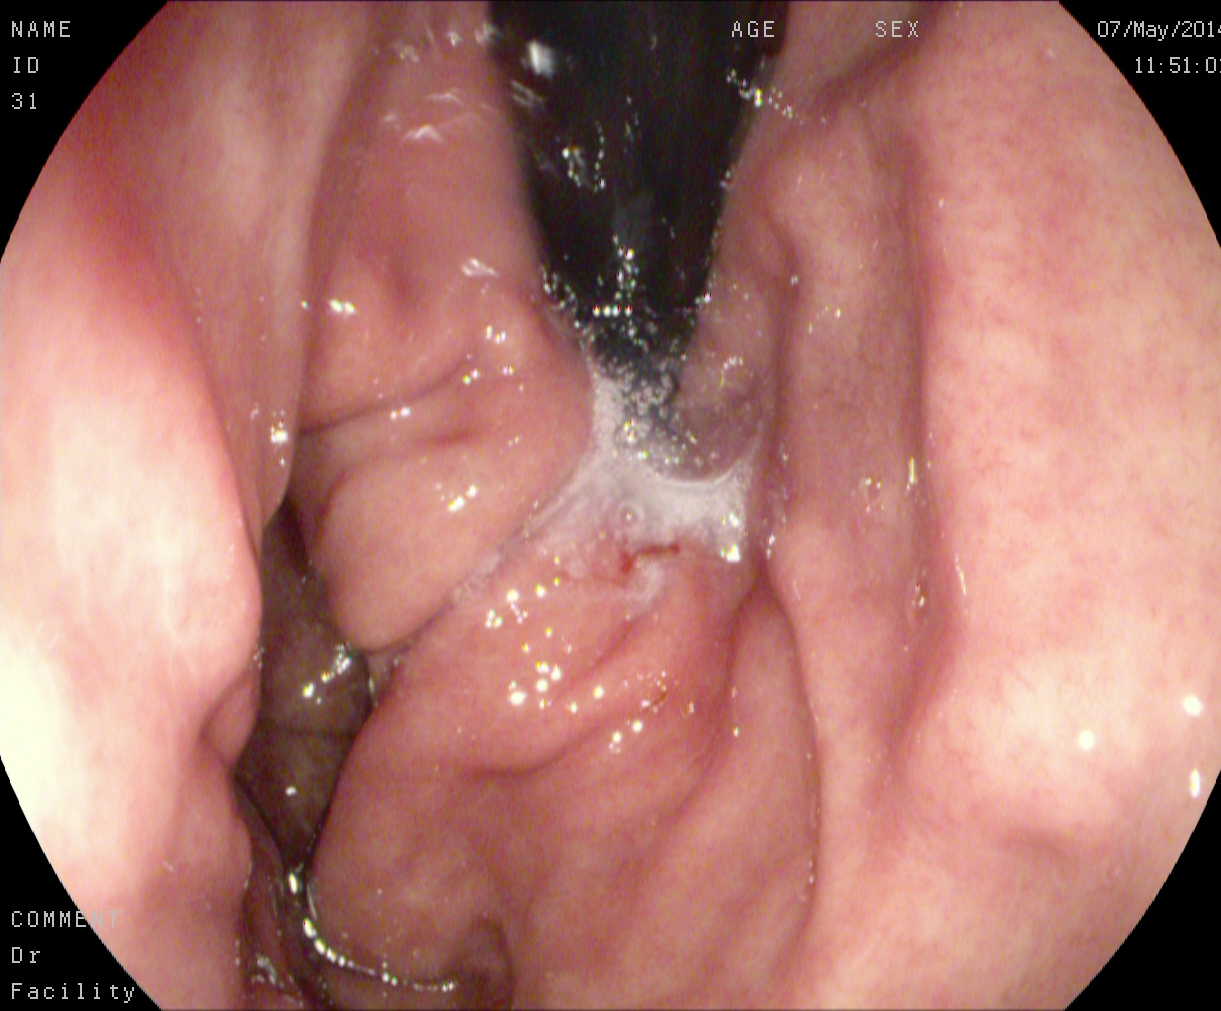Stomach in retroflexion.